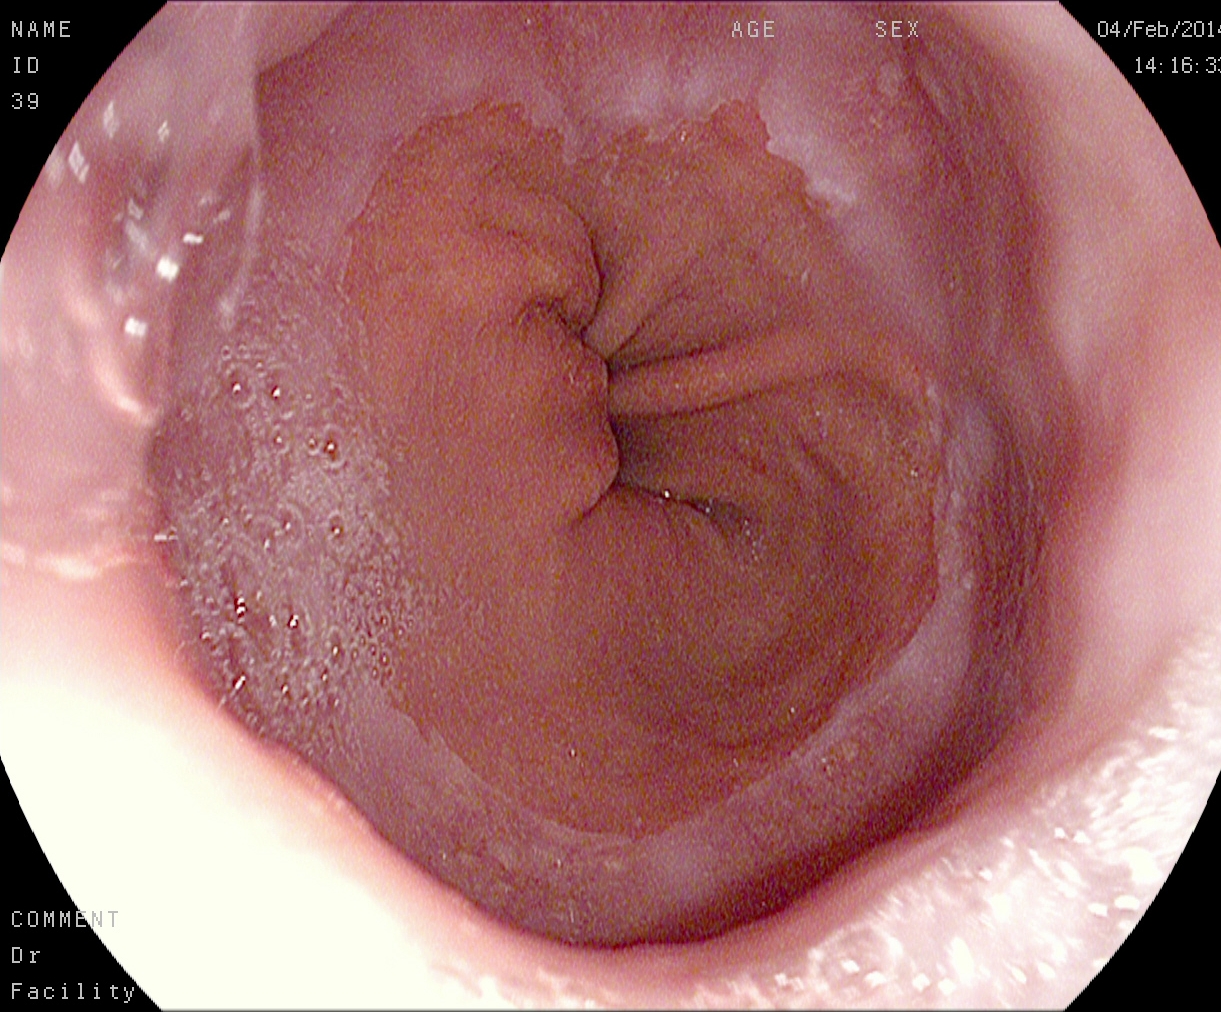Z-line (gastroesophageal junction).